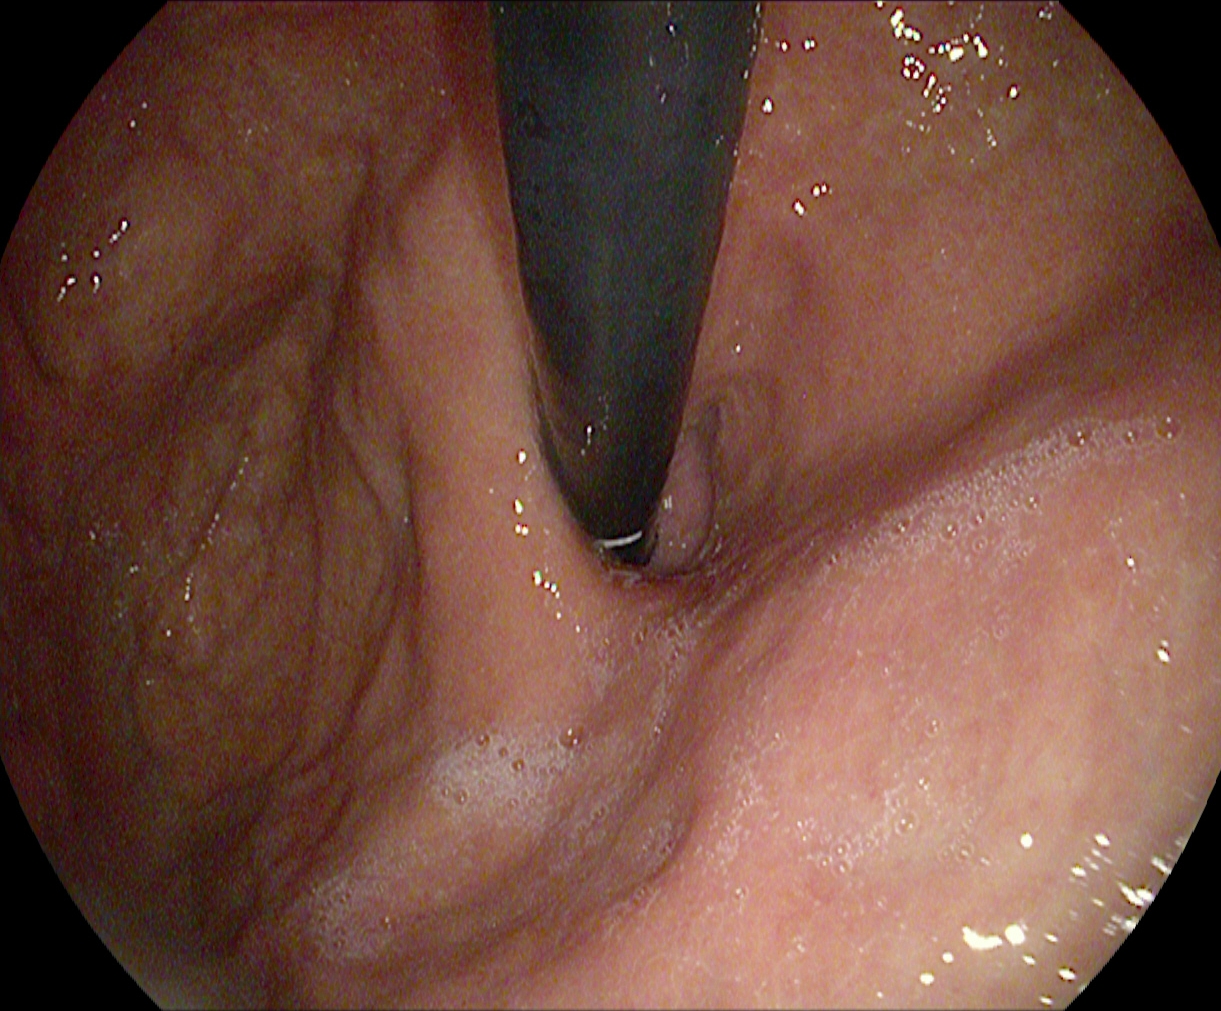Stomach in retroflexion.